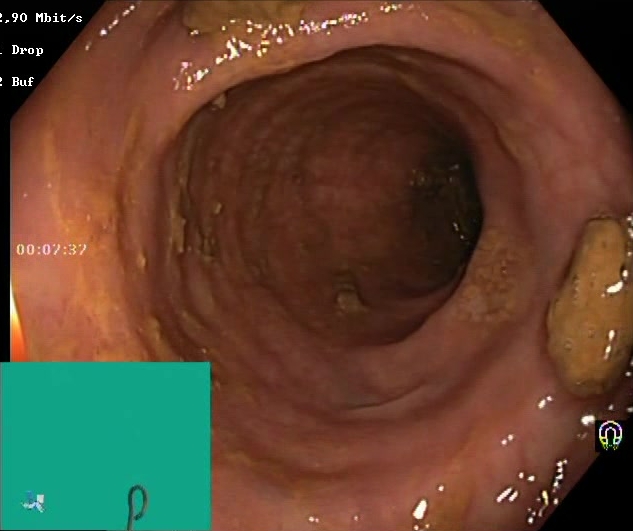Boston Bowel Preparation Scale score 2–3 (adequate preparation).